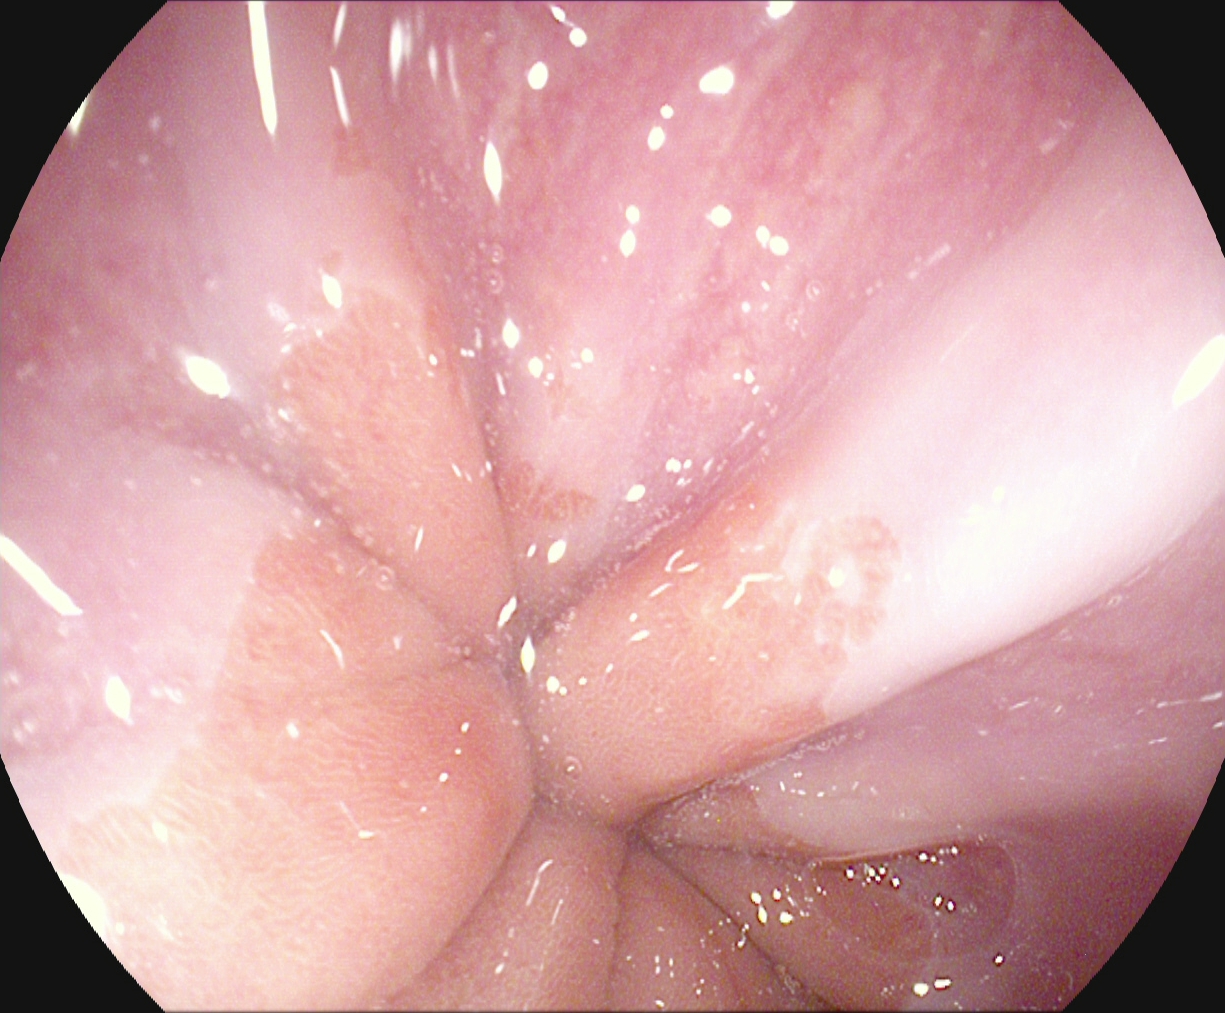Upper-GI endoscopy — Z-line (gastroesophageal junction).